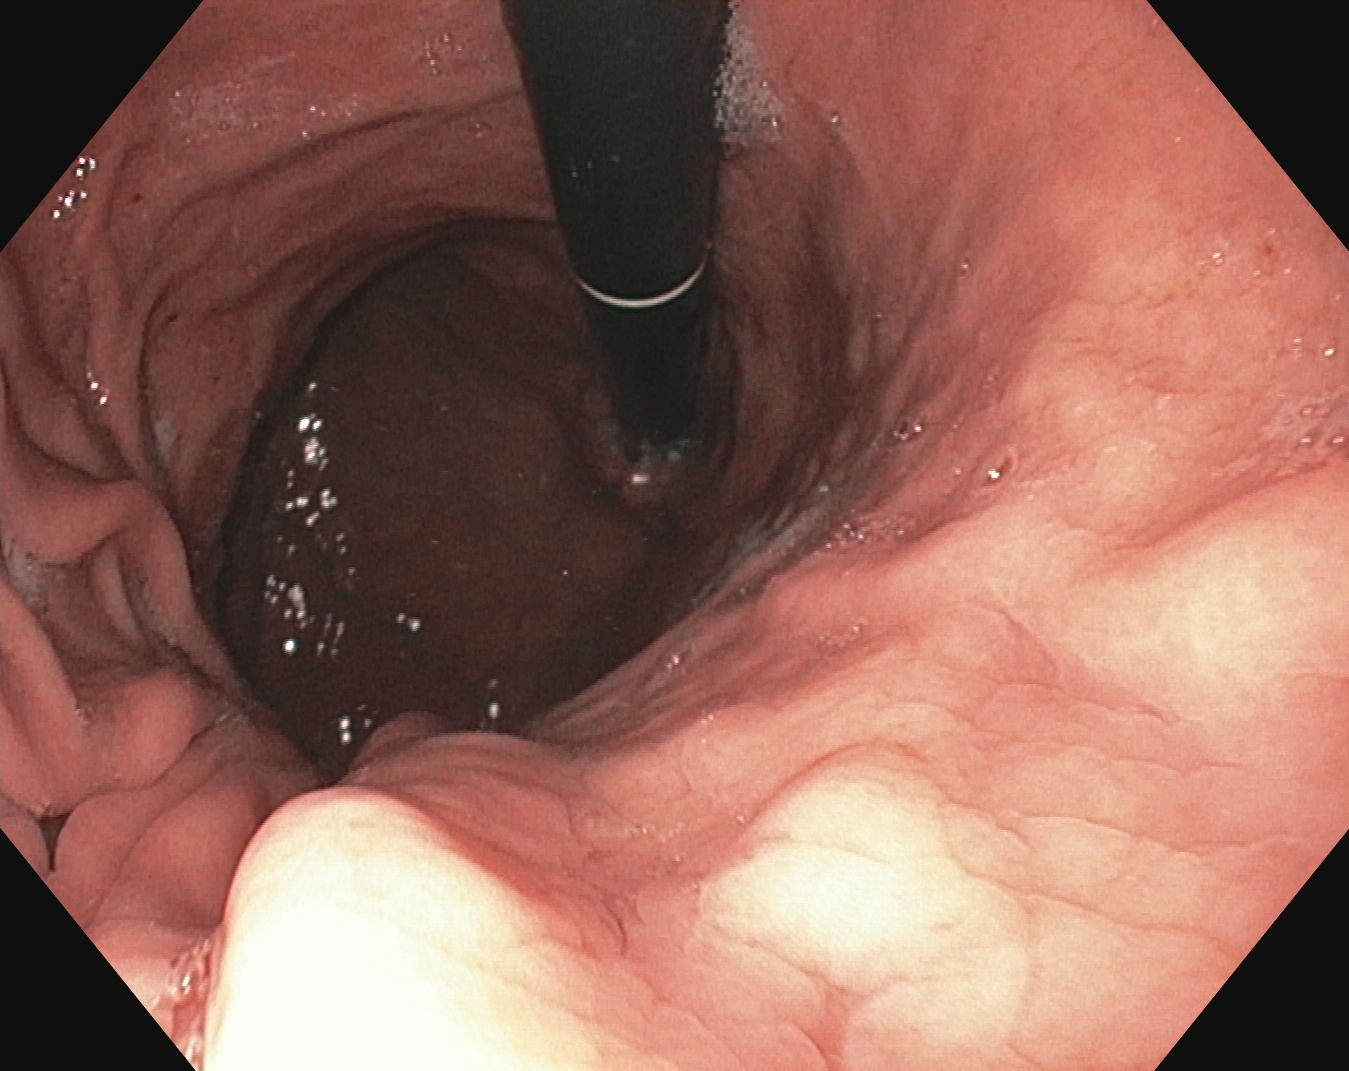EGD — stomach in retroflexion.